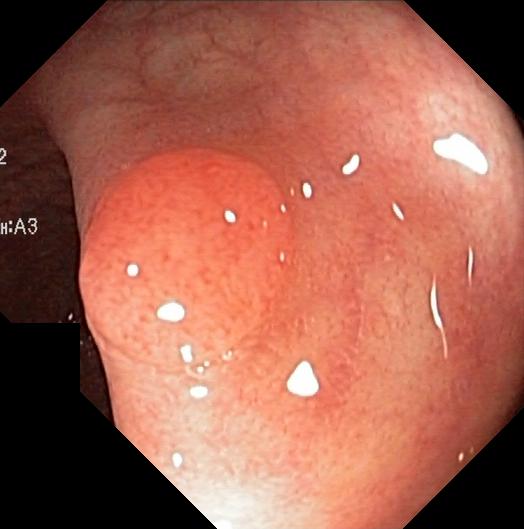This endoscopic image of the lower GI tract shows colorectal polyp(s).